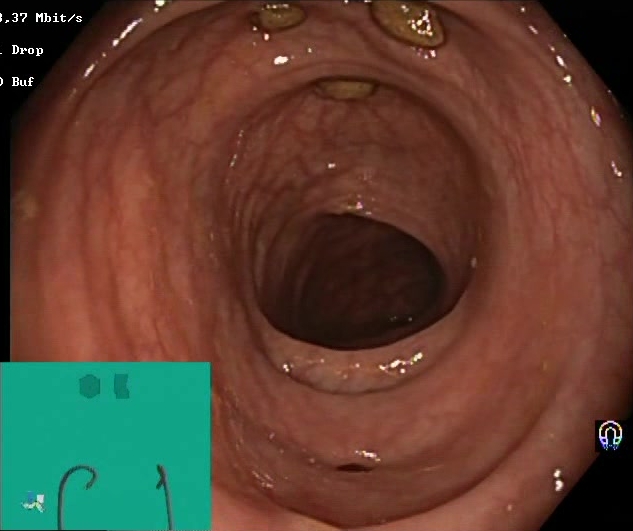Lower gastrointestinal endoscopy. Tract: lower GI tract. Finding: impacted stool.